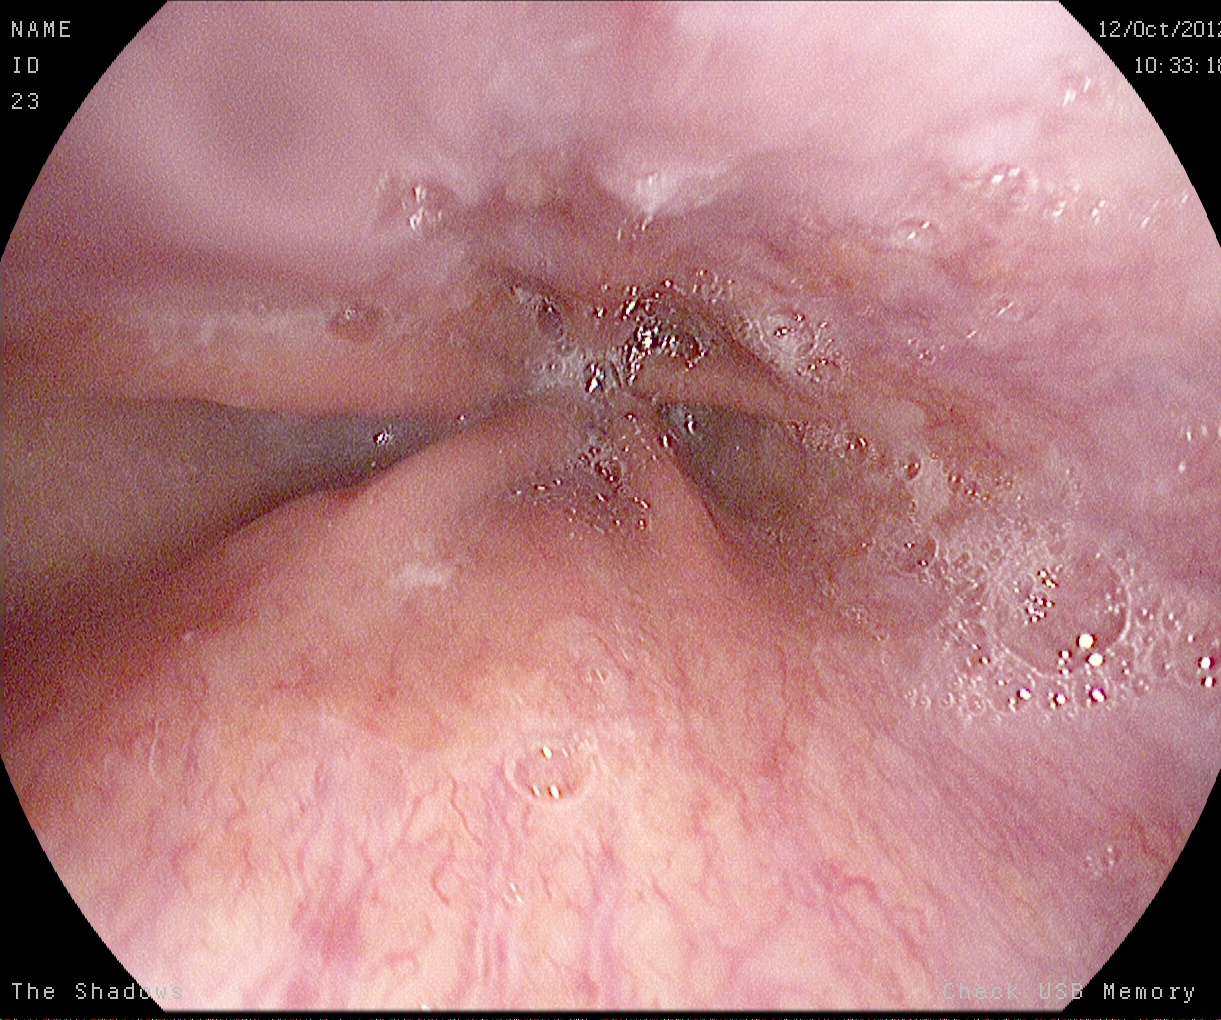Gastroscopy image showing Z-line (gastroesophageal junction).